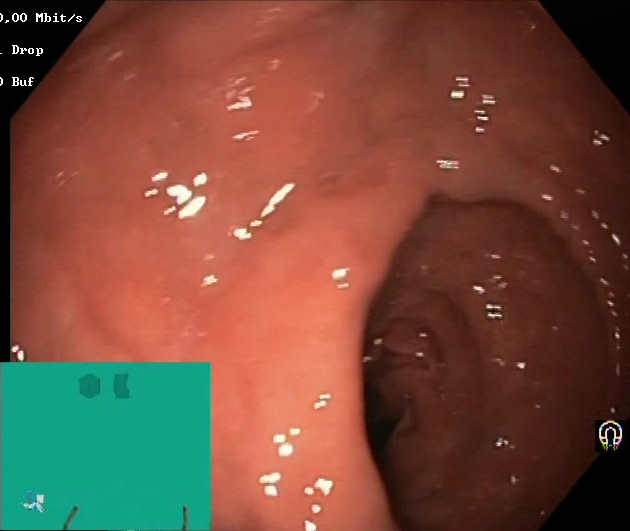This endoscopy frame of the lower GI tract shows Boston Bowel Preparation Scale score 2–3 (adequate preparation).